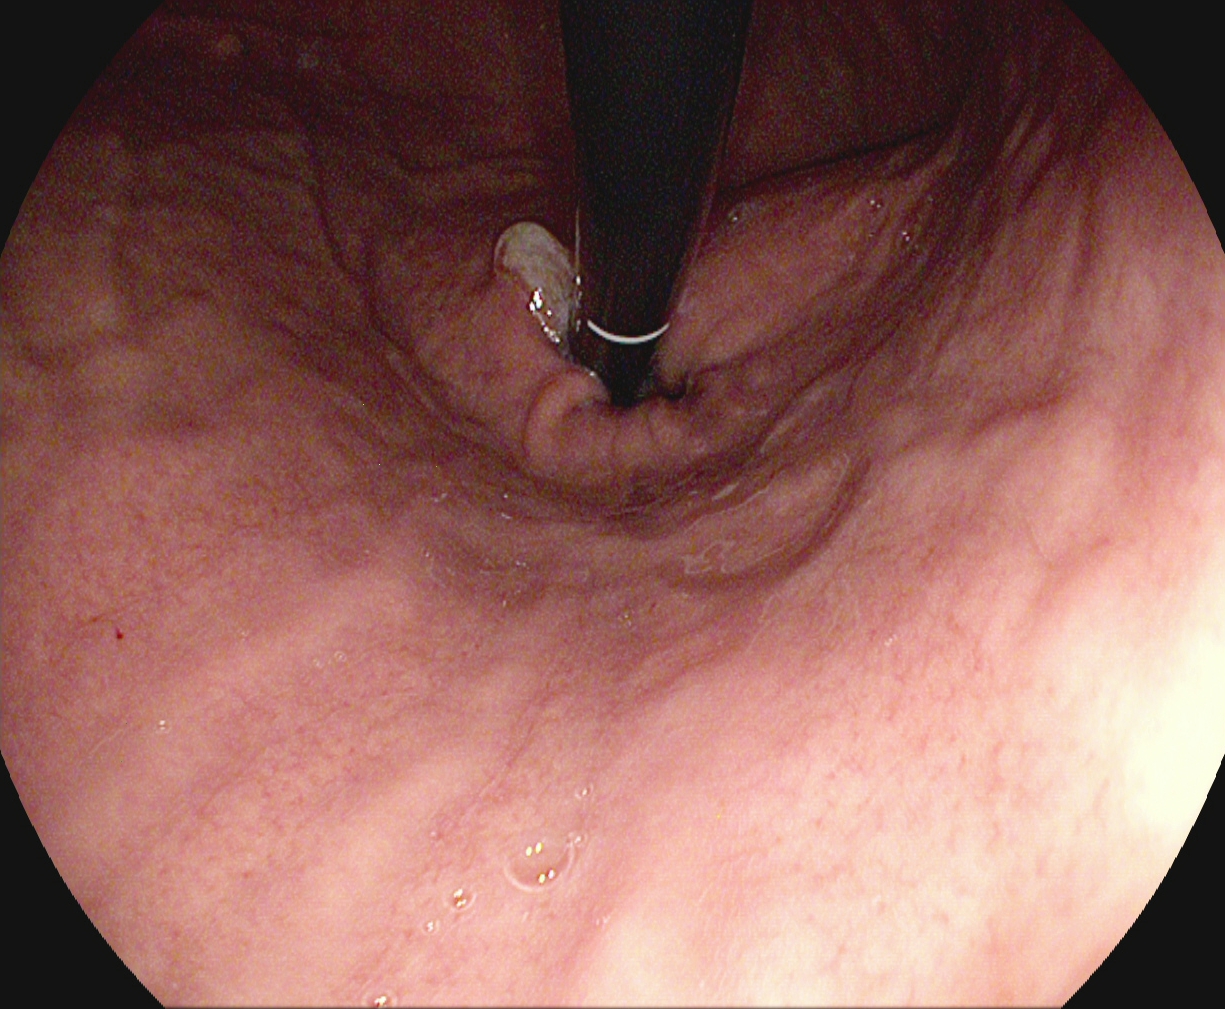modality: esophagogastroduodenoscopy | tract: upper GI tract | category: anatomical landmark | finding: stomach in retroflexion